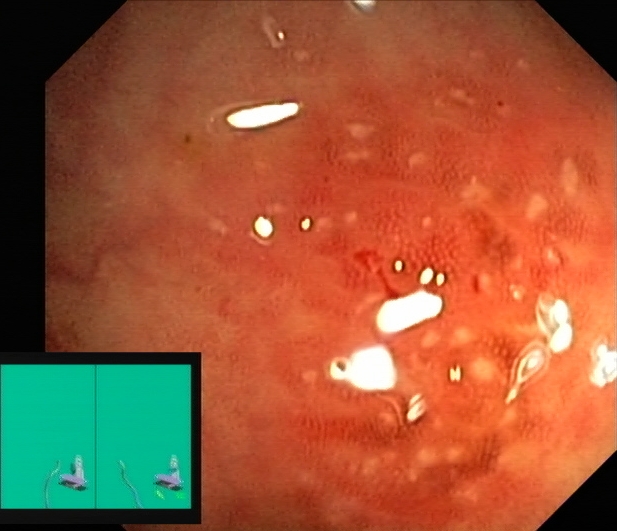Ulcerative colitis, Mayo endoscopic subscore 2.